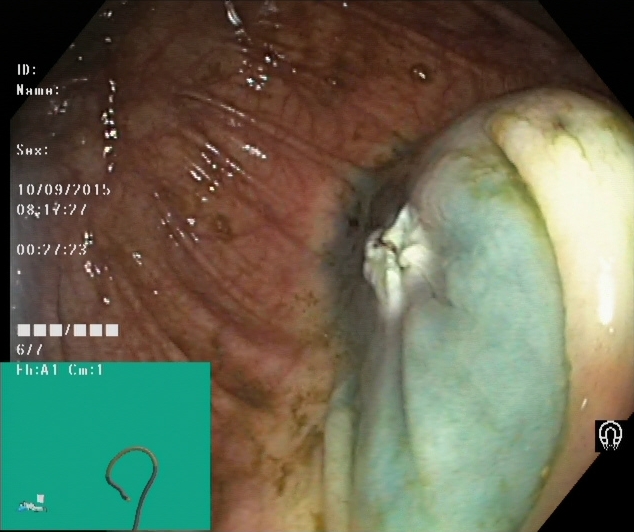This endoscopic image of the lower GI tract shows dyed resection margins (post-polypectomy).